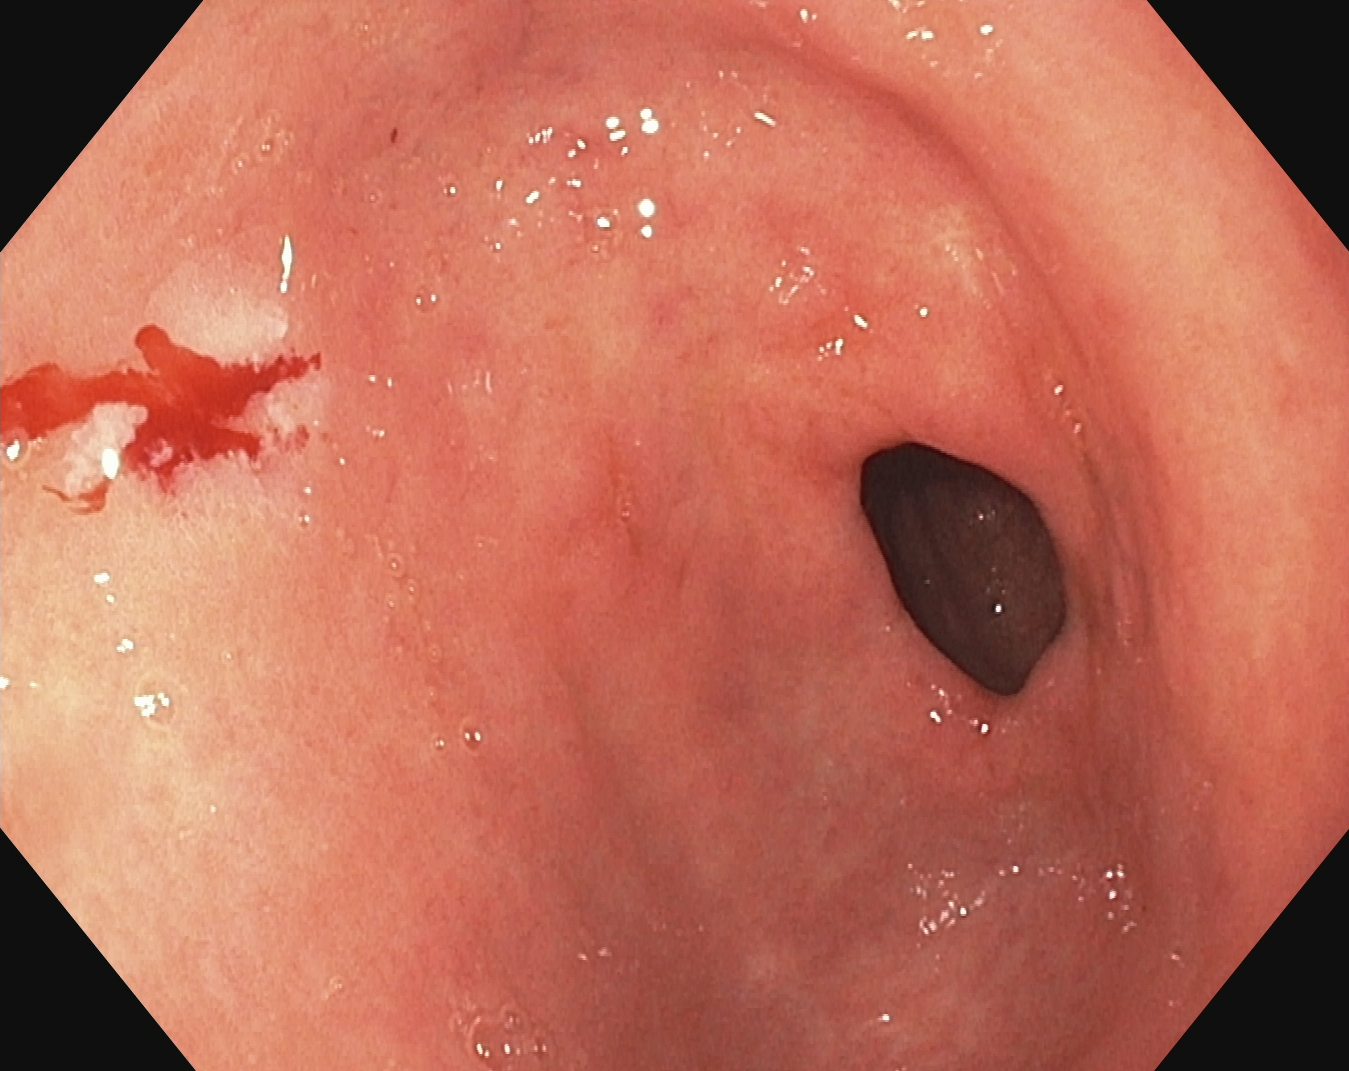pylorus.